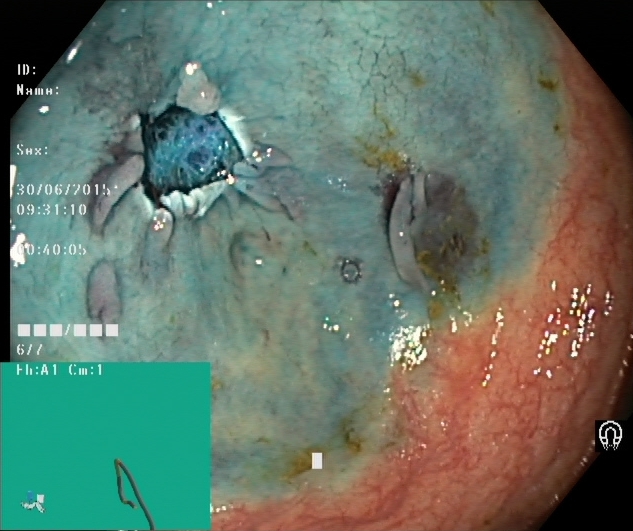This endoscopy frame shows dyed resection margins (post-polypectomy).